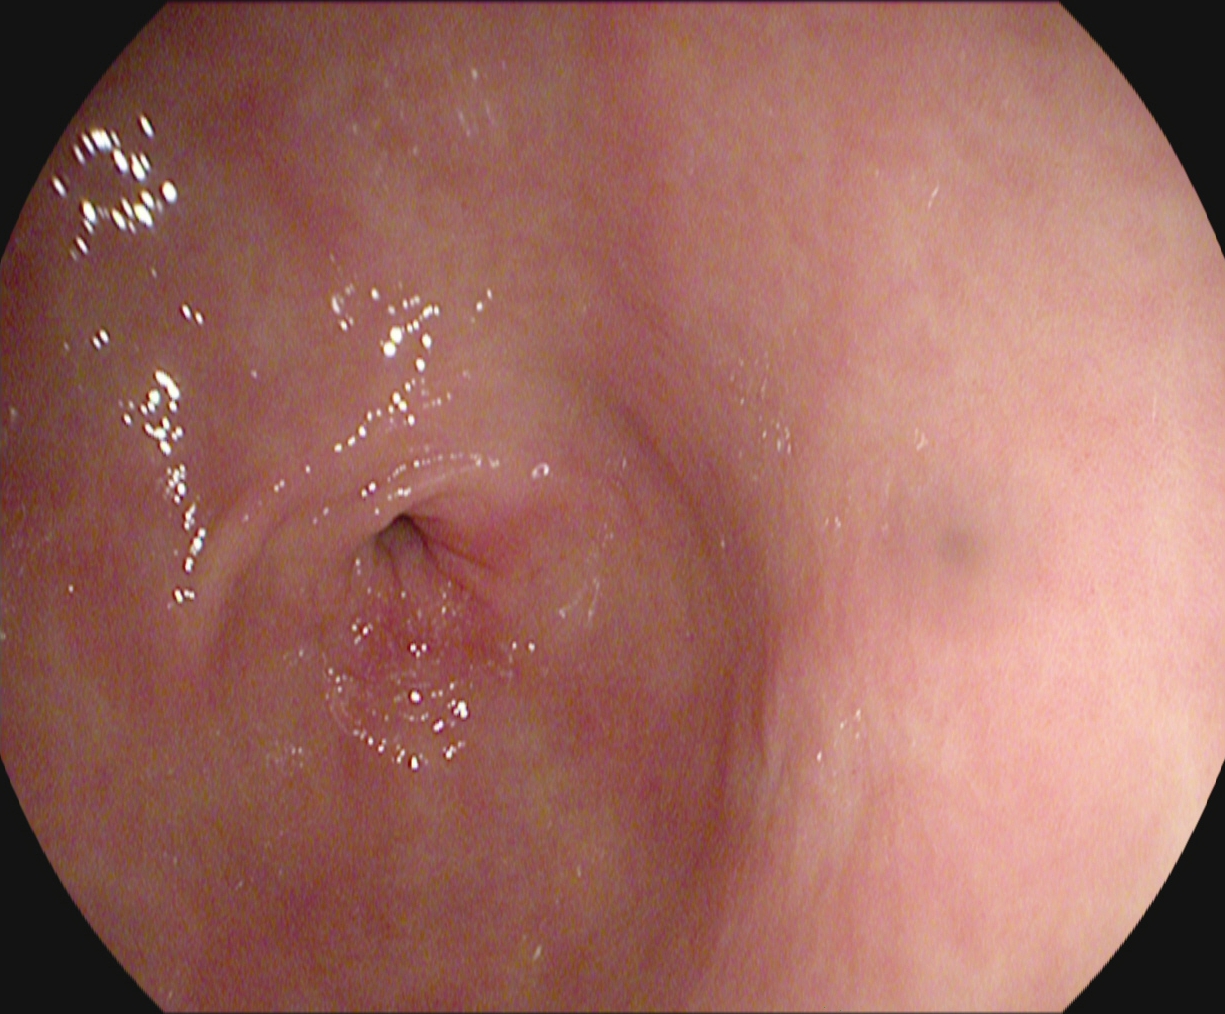Endoscopic frame of the upper GI tract showing pylorus.